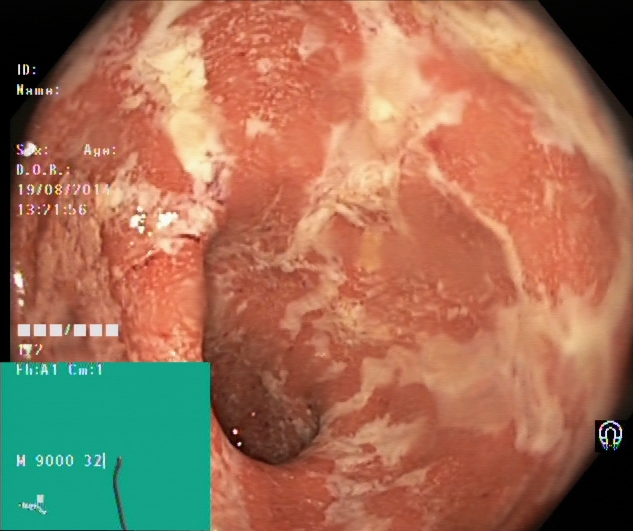Lower-GI endoscopy. Tract: lower GI tract. Pathological finding. Finding: ulcerative colitis, Mayo endoscopic subscore 2.